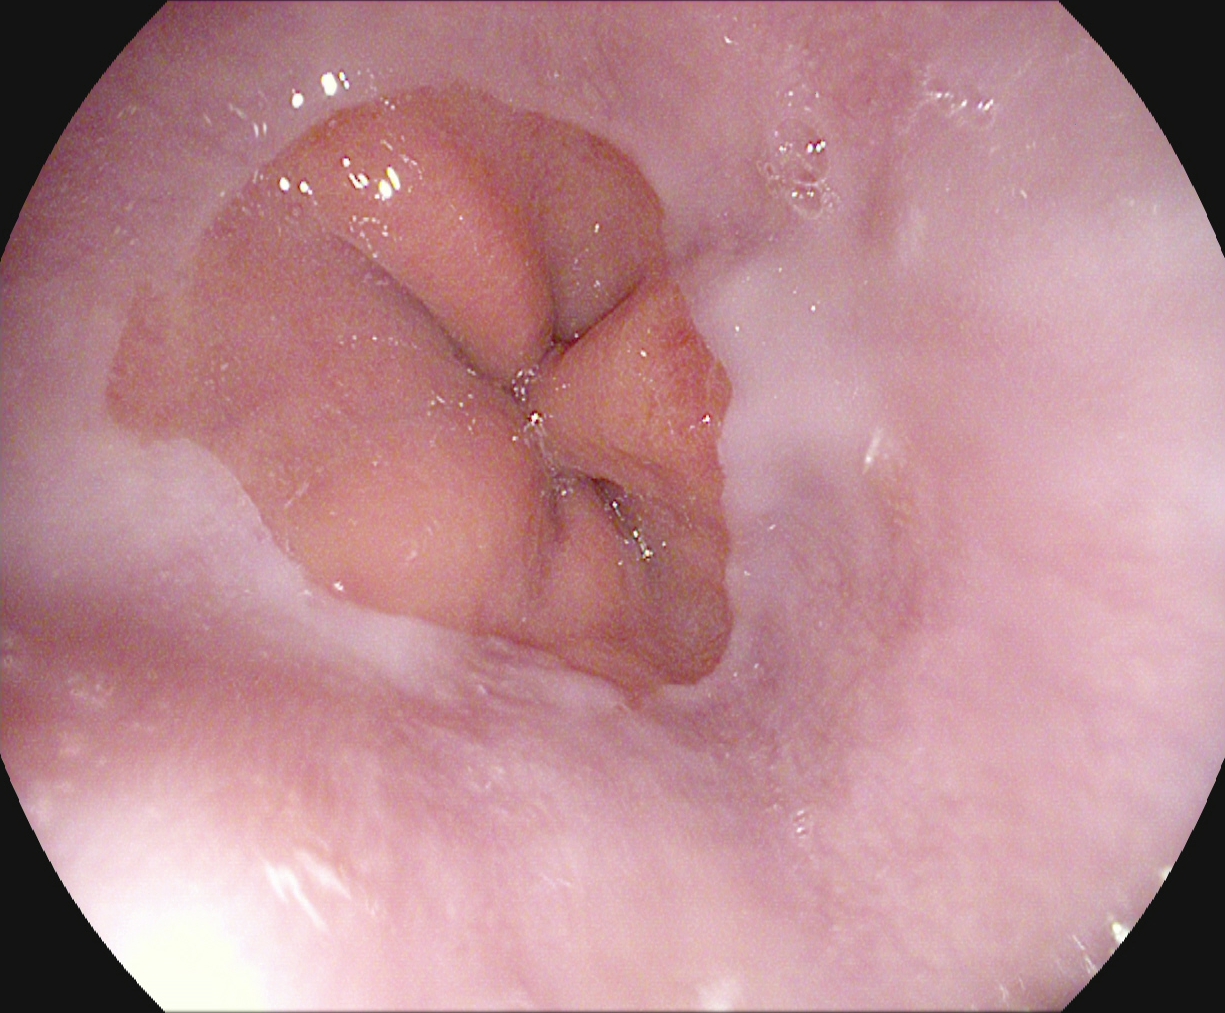Z-line (gastroesophageal junction).